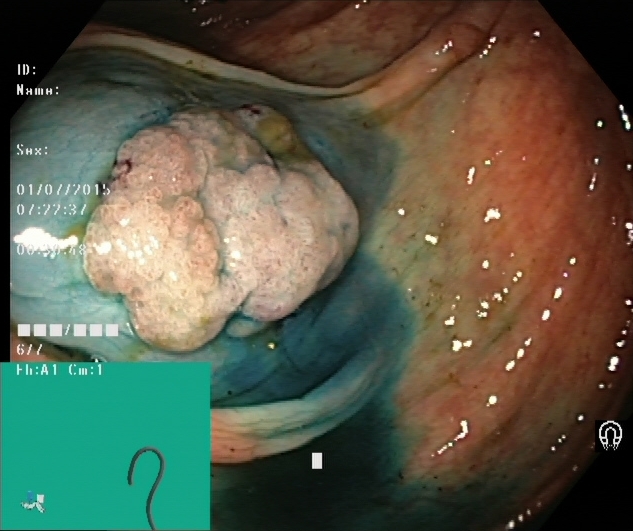This endoscopy frame shows dyed and lifted polyp (pre-resection).